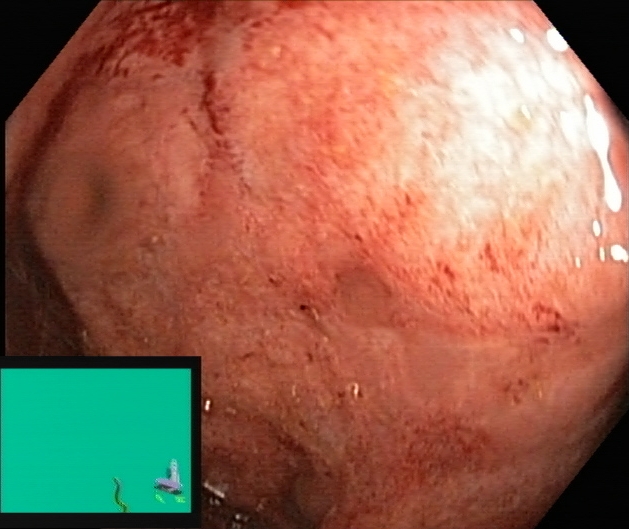PROCEDURE: Colonoscopy.
FINDINGS: Ulcerative colitis, Mayo endoscopic subscore 2.